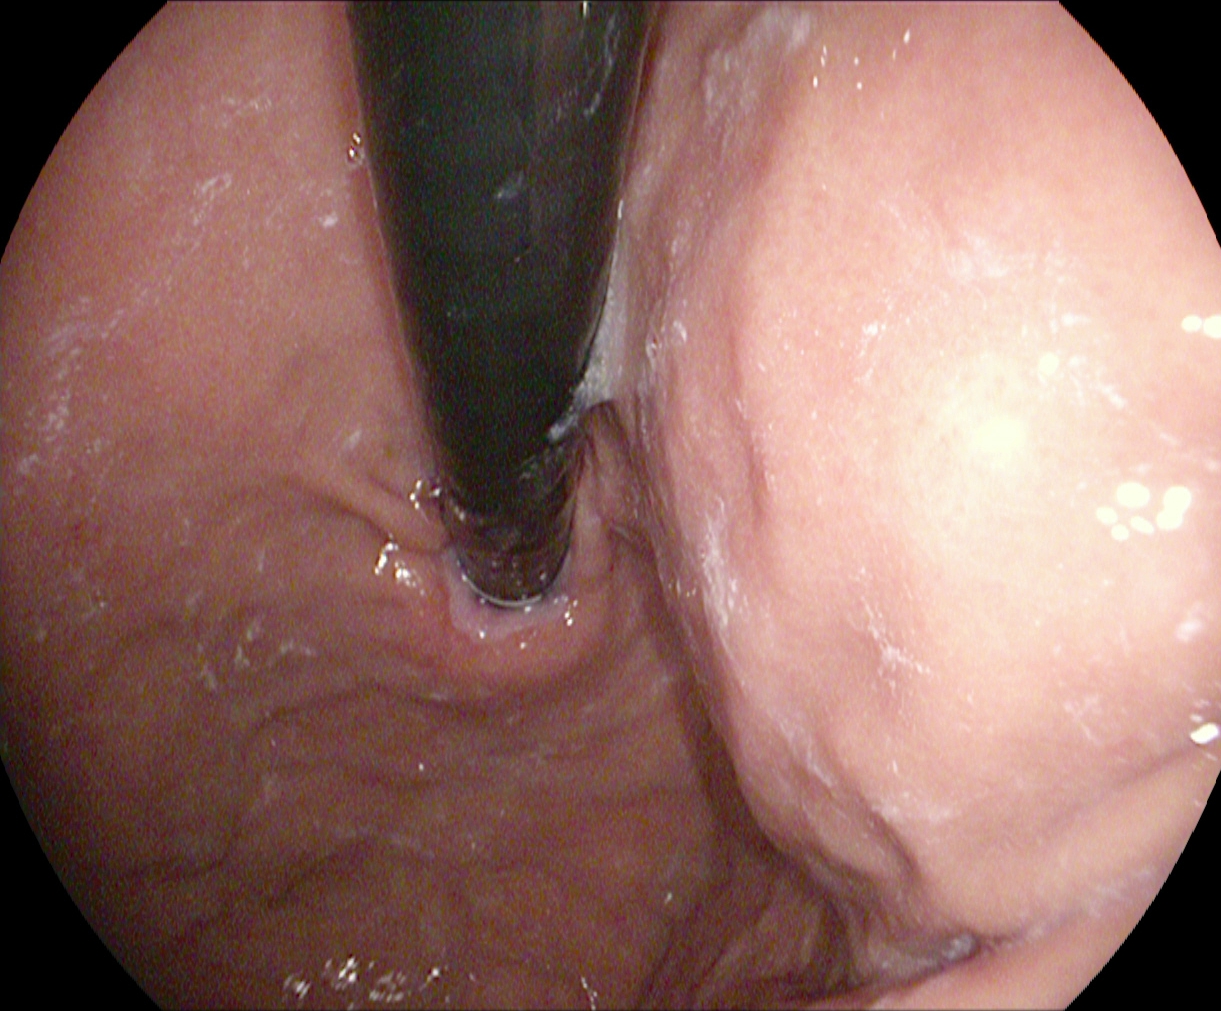modality: gastroscopy | finding: stomach in retroflexion